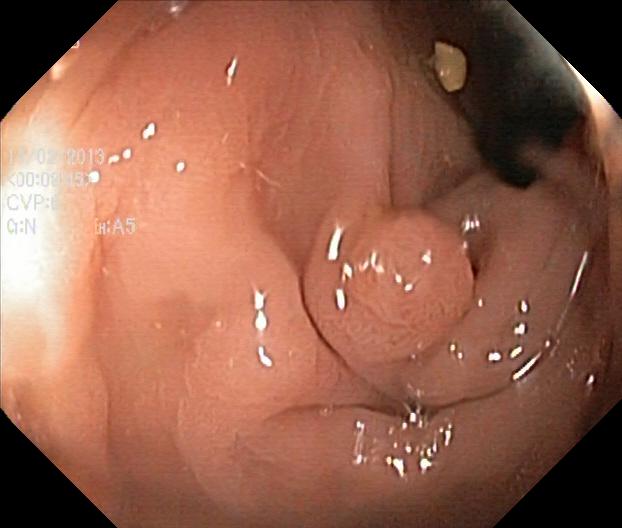This endoscopic image of the lower GI tract shows colorectal polyp(s).